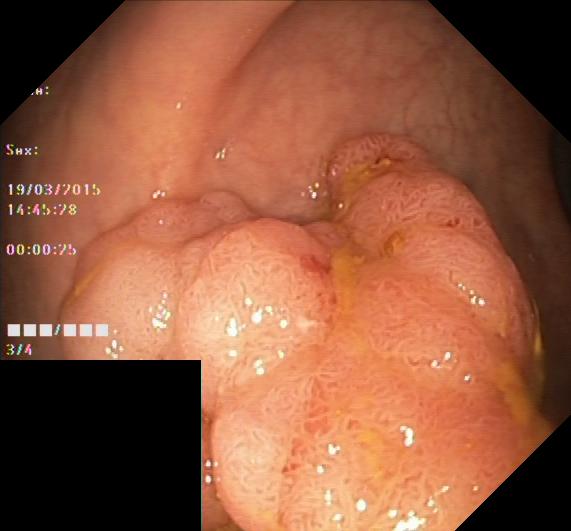This endoscopic image shows colorectal polyp(s).